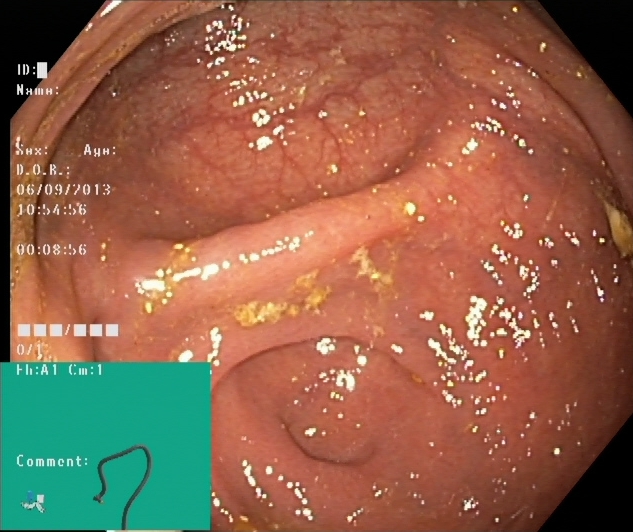{"modality": "colonoscopy", "tract": "lower GI tract", "category": "anatomical landmark", "finding": "cecum"}